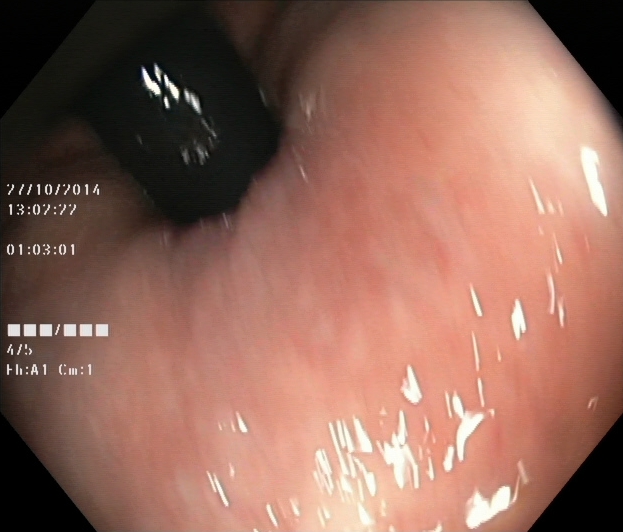Rectum in retroflexion.